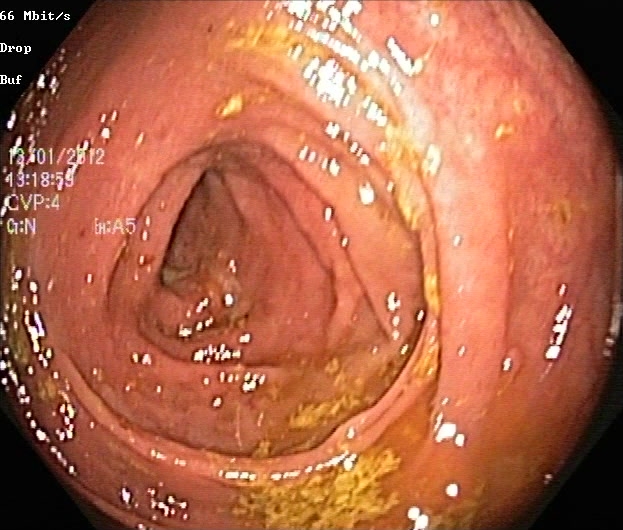modality: colonoscopy; tract: lower GI tract; category: pathological finding; finding: ulcerative colitis, Mayo endoscopic subscore 1